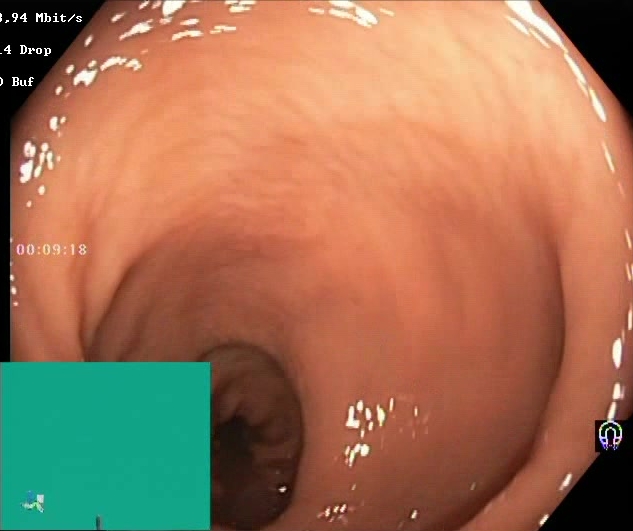Boston Bowel Preparation Scale score 2–3 (adequate preparation).